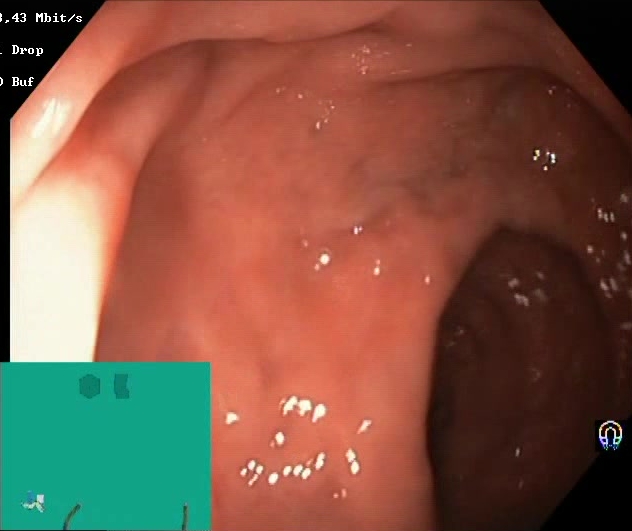PROCEDURE: Lower-GI endoscopy.
FINDINGS: Boston Bowel Preparation Scale score 2–3 (adequate preparation).